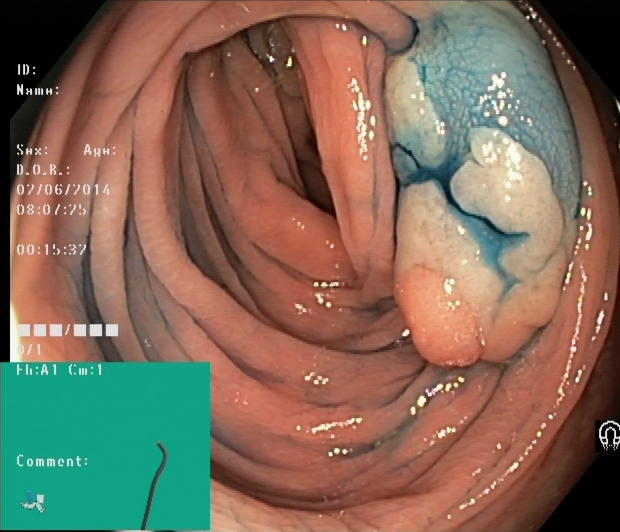Lower gastrointestinal endoscopy — dyed and lifted polyp (pre-resection).